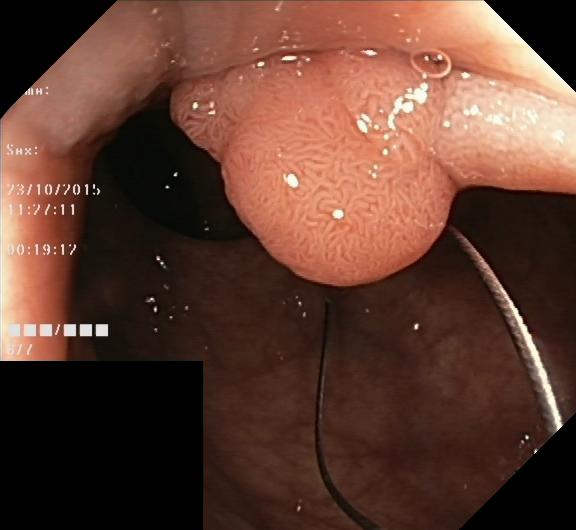Colorectal polyp(s).